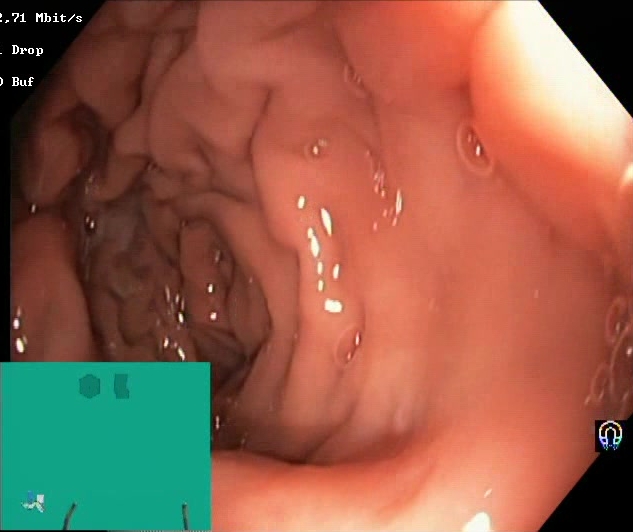modality: lower gastrointestinal endoscopy; finding: BBPS score 2–3 (adequate preparation)